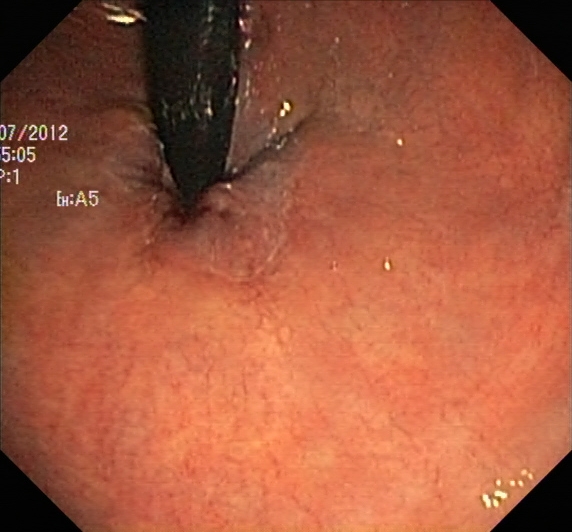{"modality": "colonoscopy", "tract": "lower GI tract", "category": "anatomical landmark", "finding": "rectum in retroflexion"}